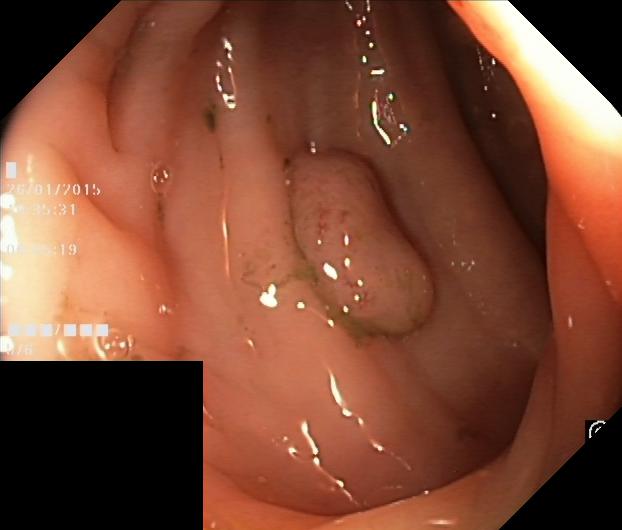PROCEDURE: Lower gastrointestinal endoscopy.
FINDINGS: Colorectal polyp(s).